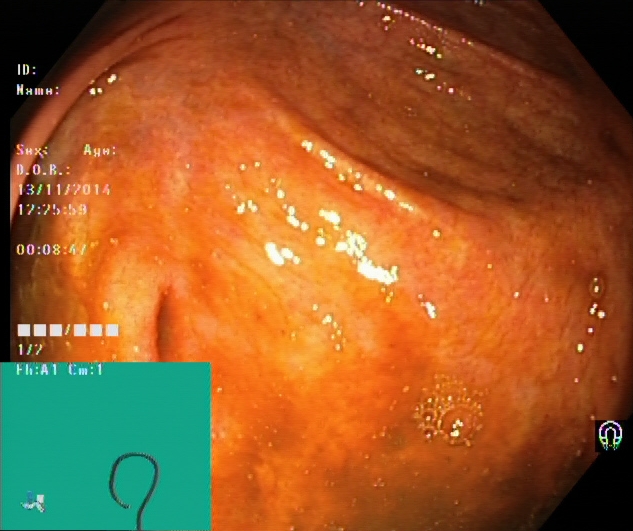GI endoscopy image of the lower GI tract showing cecum.